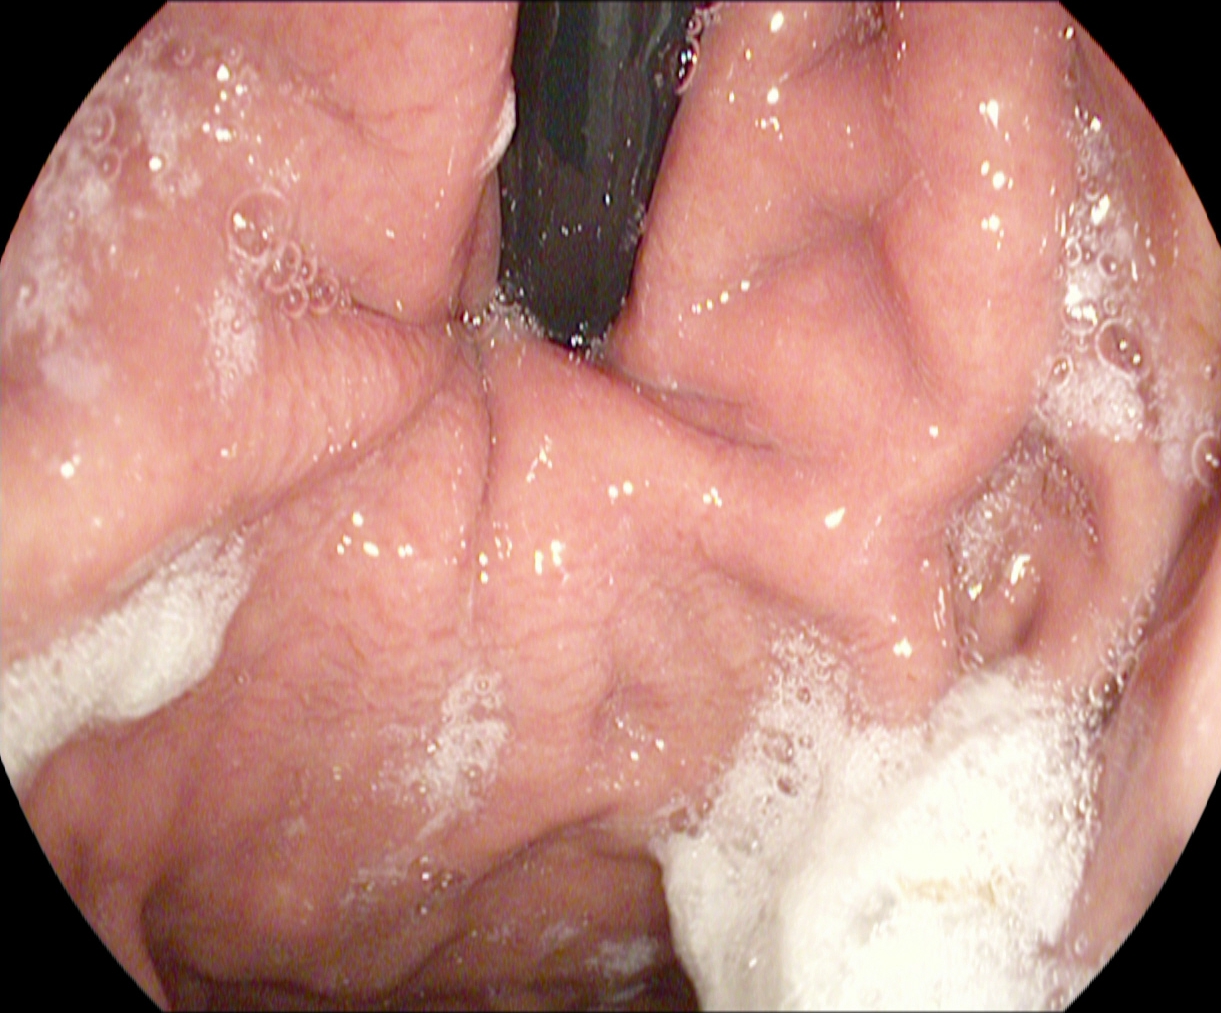{"modality": "EGD", "finding": "stomach in retroflexion"}